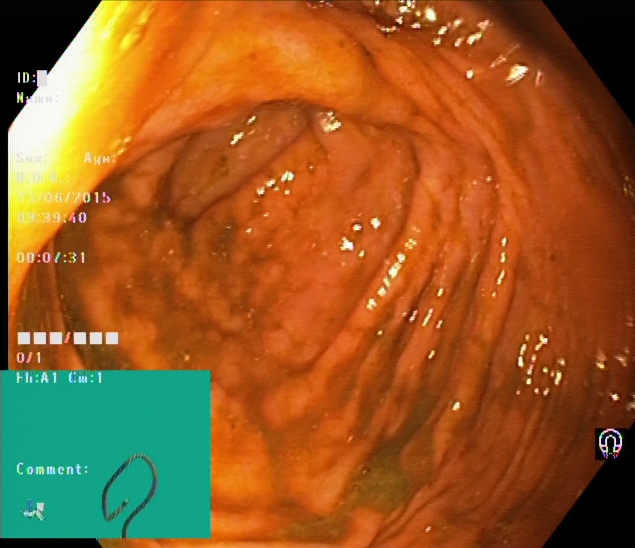modality: colonoscopy
finding: cecum